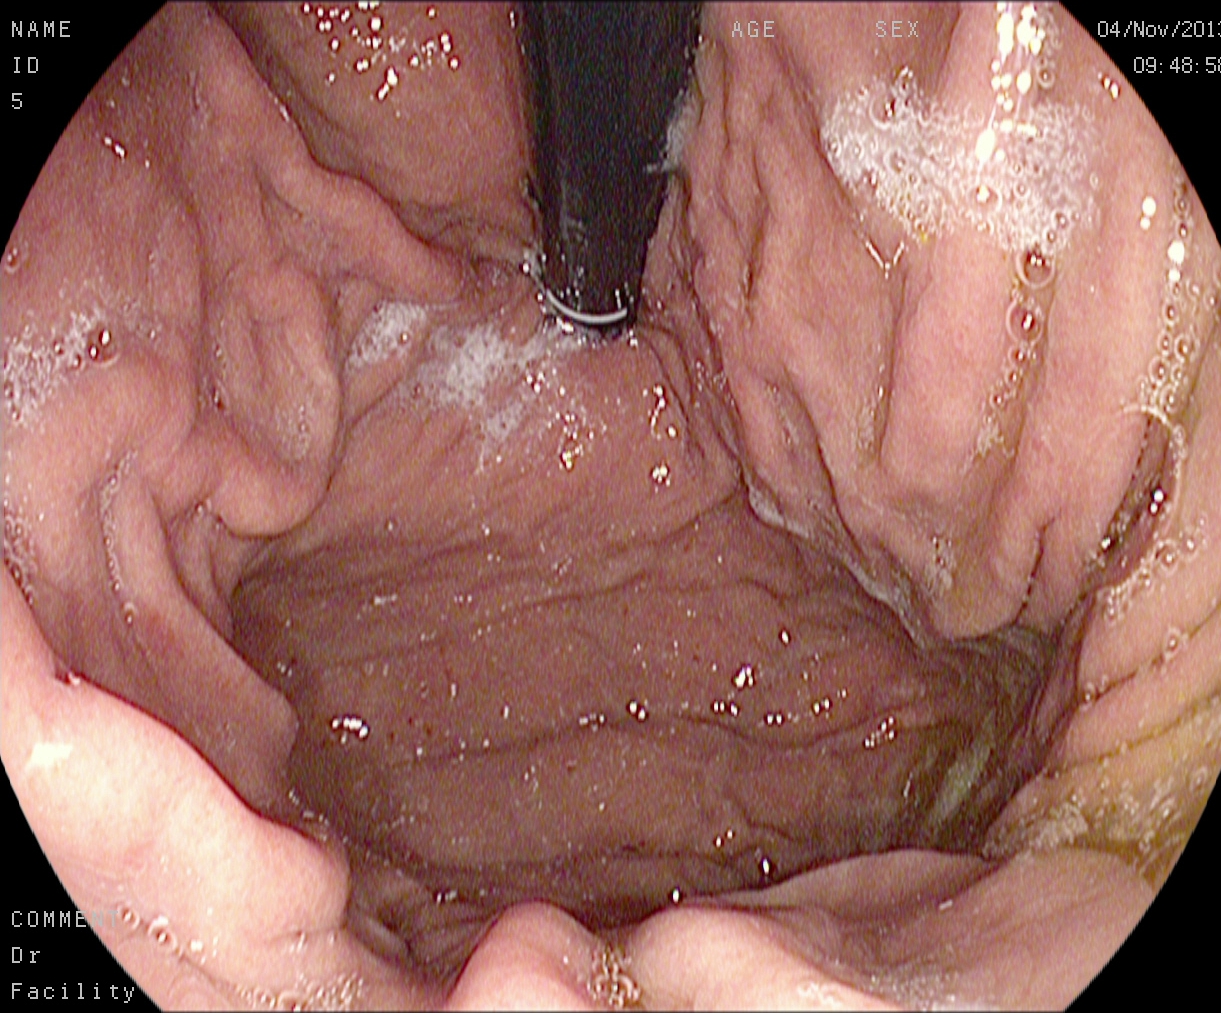modality: gastroscopy | tract: upper GI tract | finding: stomach in retroflexion